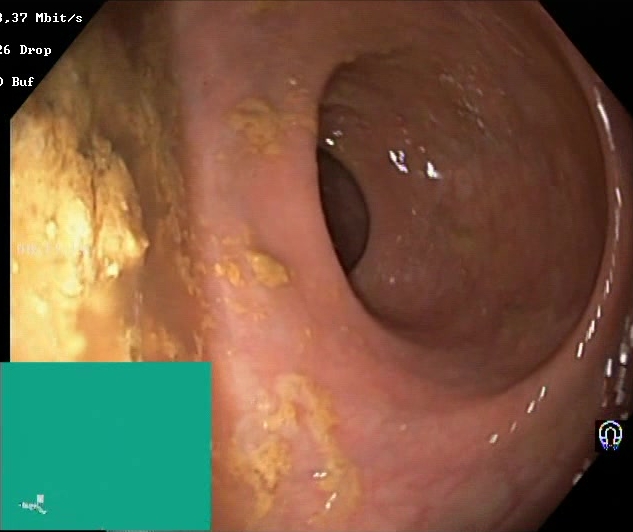modality: lower gastrointestinal endoscopy | tract: lower GI tract | category: mucosal-view quality | finding: BBPS score 0–1 (inadequate preparation)